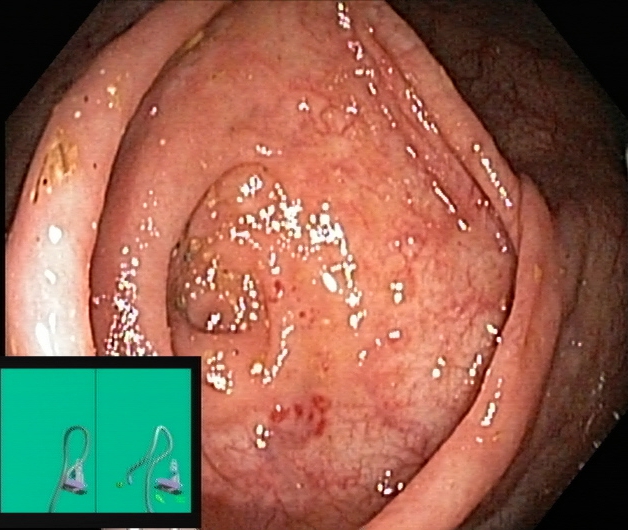Cecum.